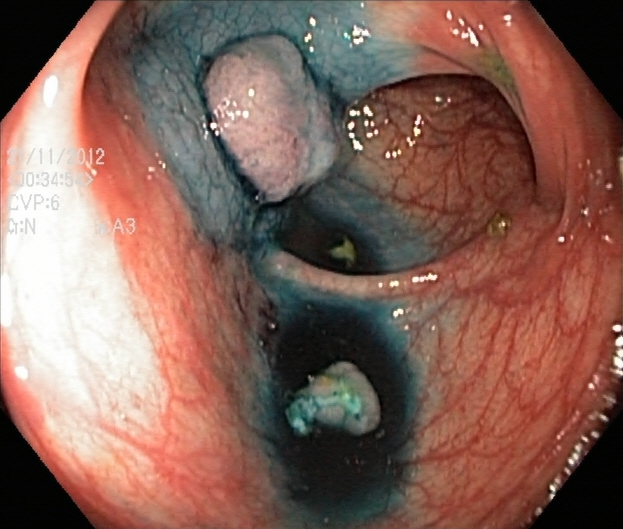{"modality": "lower gastrointestinal endoscopy", "finding": "dyed and lifted polyp (pre-resection)"}